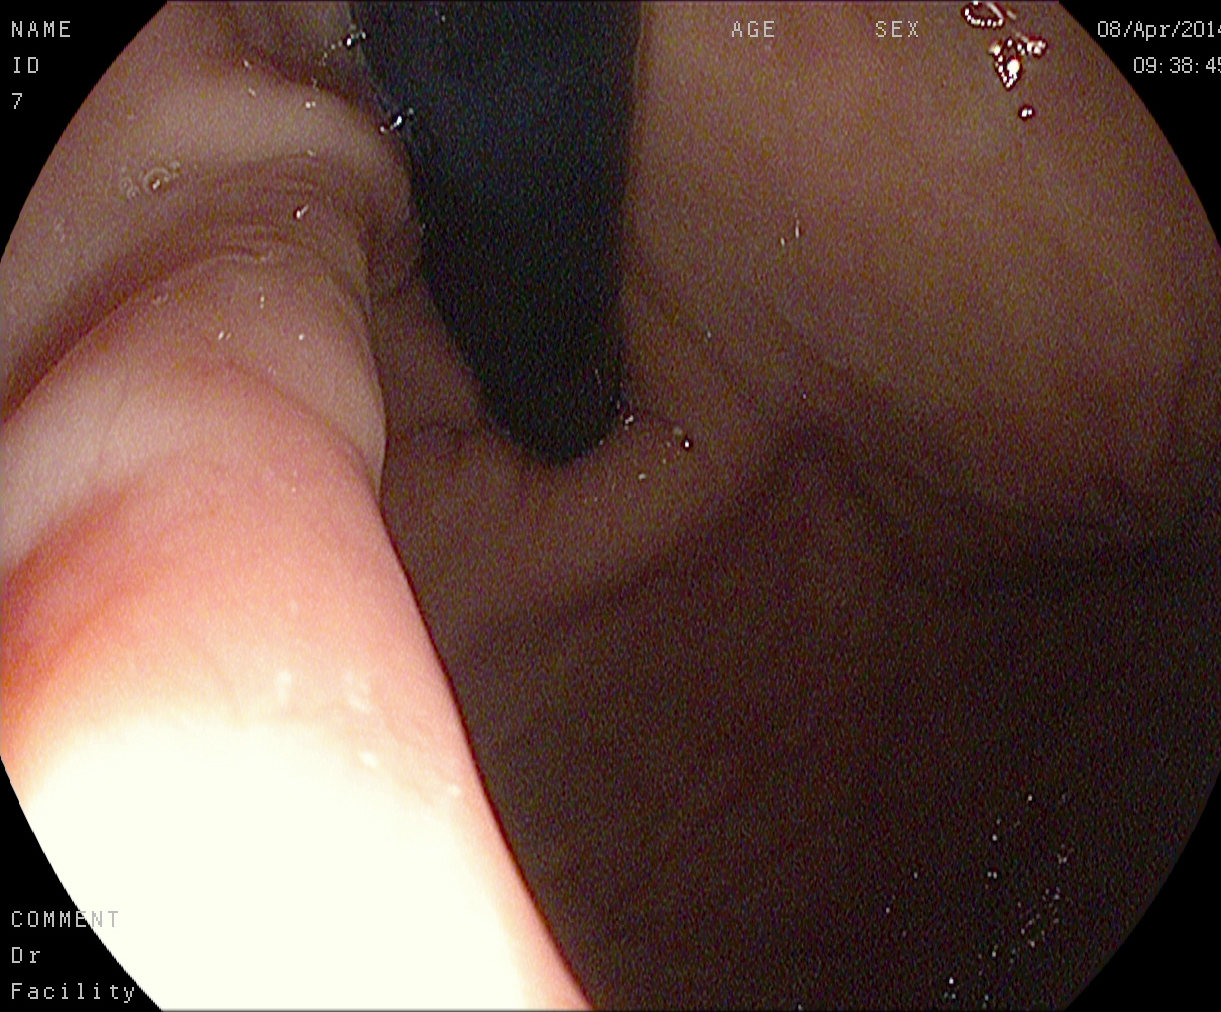Upper-GI endoscopy. Tract: upper GI tract. Finding: stomach in retroflexion.